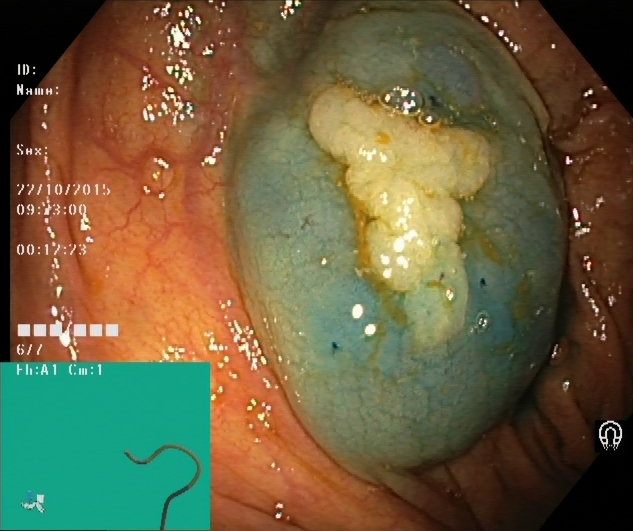GI endoscopy image showing dyed and lifted polyp (pre-resection).